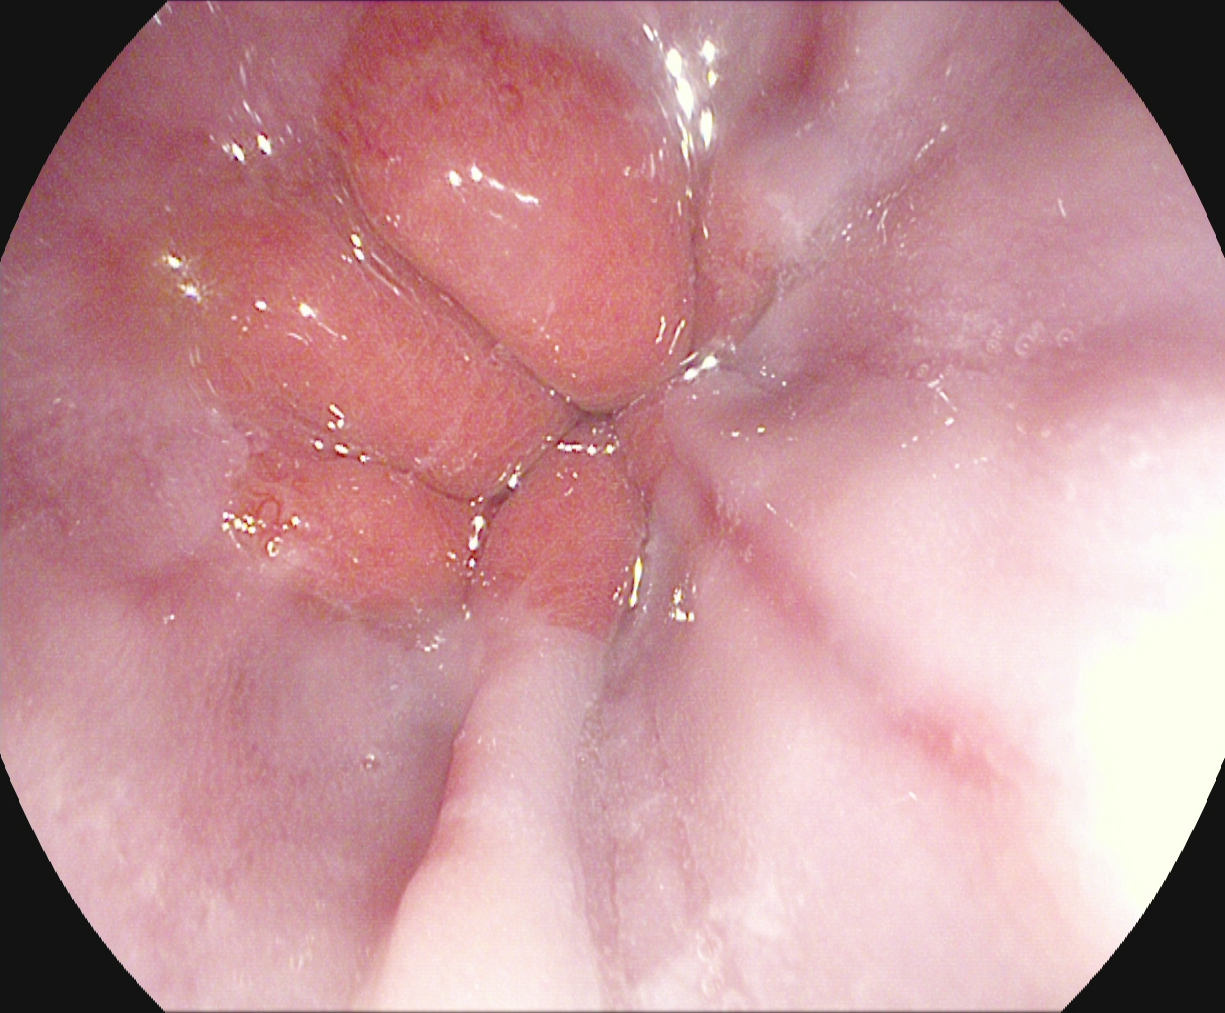{"modality": "esophagogastroduodenoscopy", "tract": "upper GI tract", "finding": "reflux esophagitis, Los Angeles grade A"}